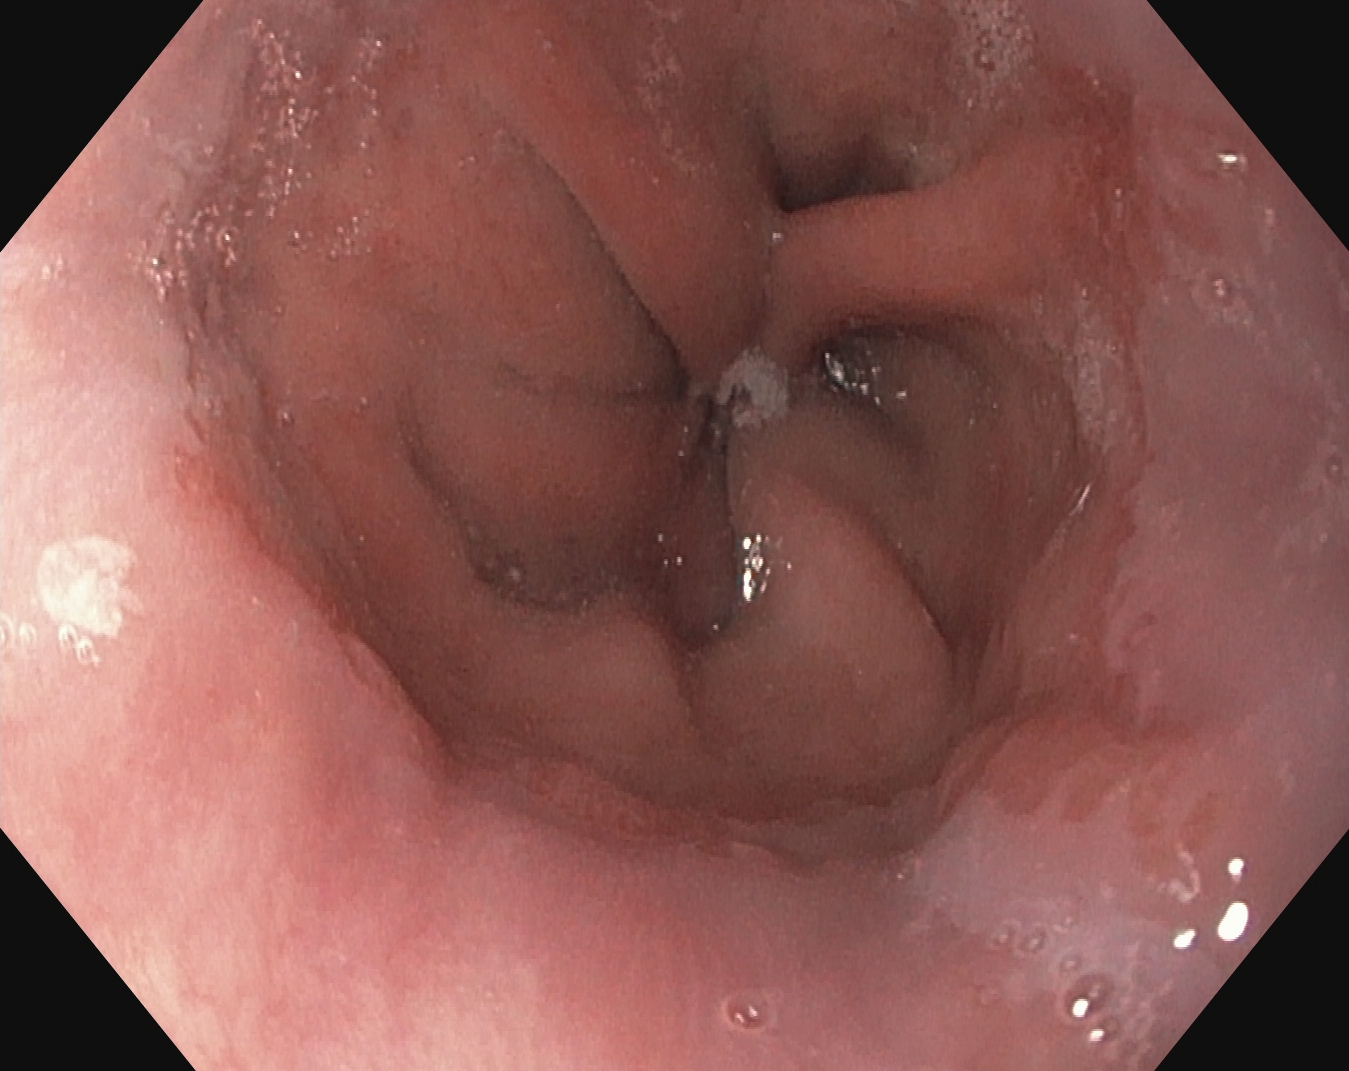Esophagogastroduodenoscopy. Tract: upper GI tract. Finding: reflux esophagitis, Los Angeles grade A.